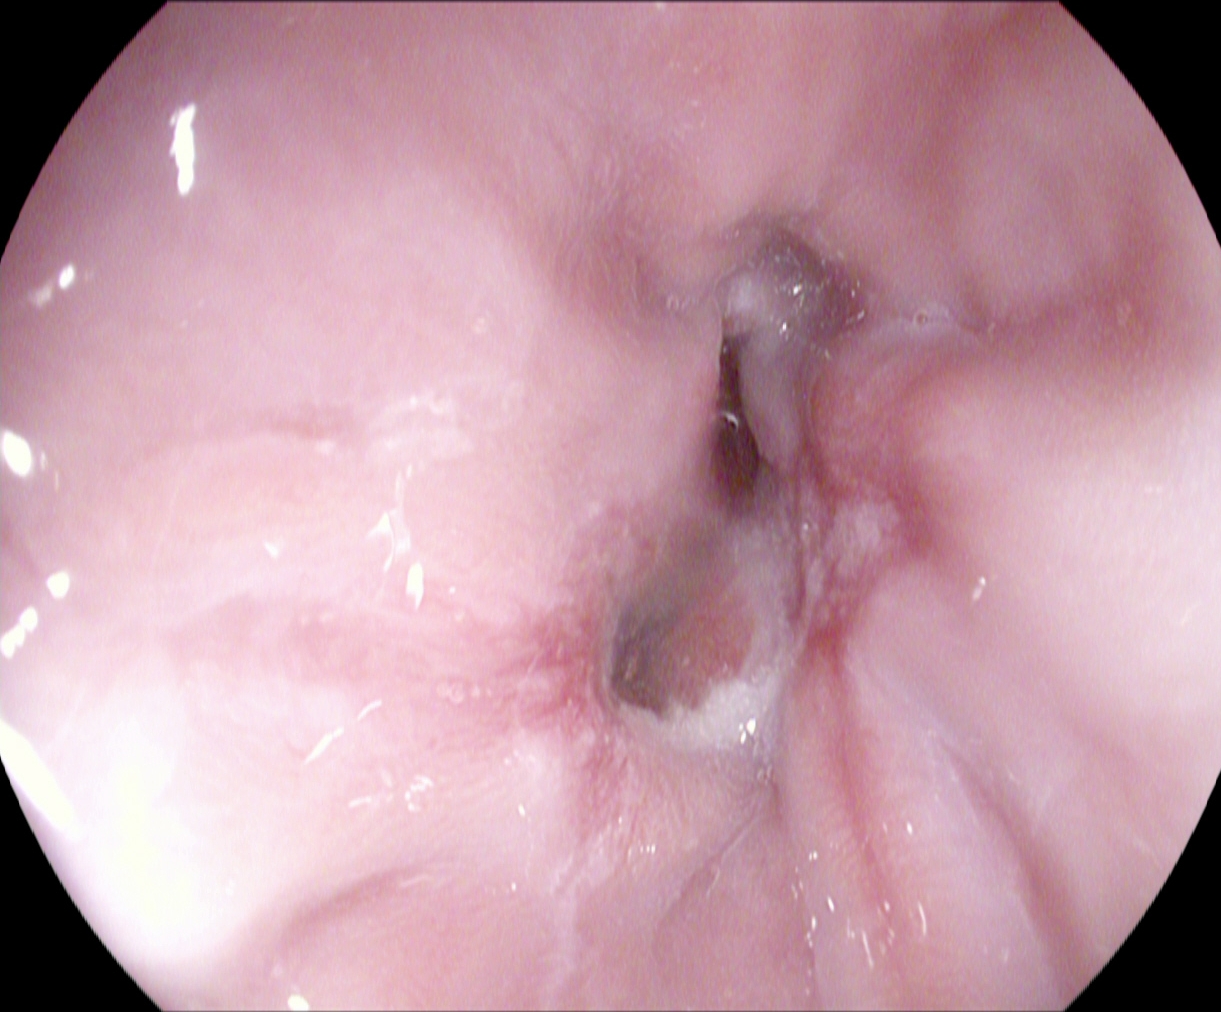{"modality": "EGD", "tract": "upper GI tract", "finding": "reflux esophagitis, Los Angeles grade B\u2013D"}